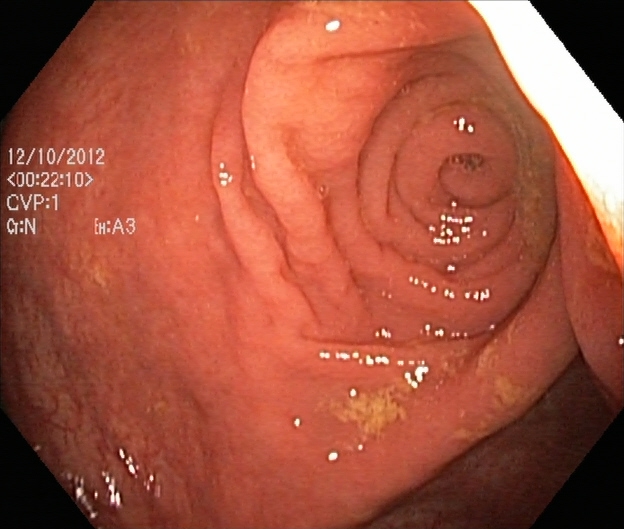This endoscopy frame of the lower GI tract shows cecum.